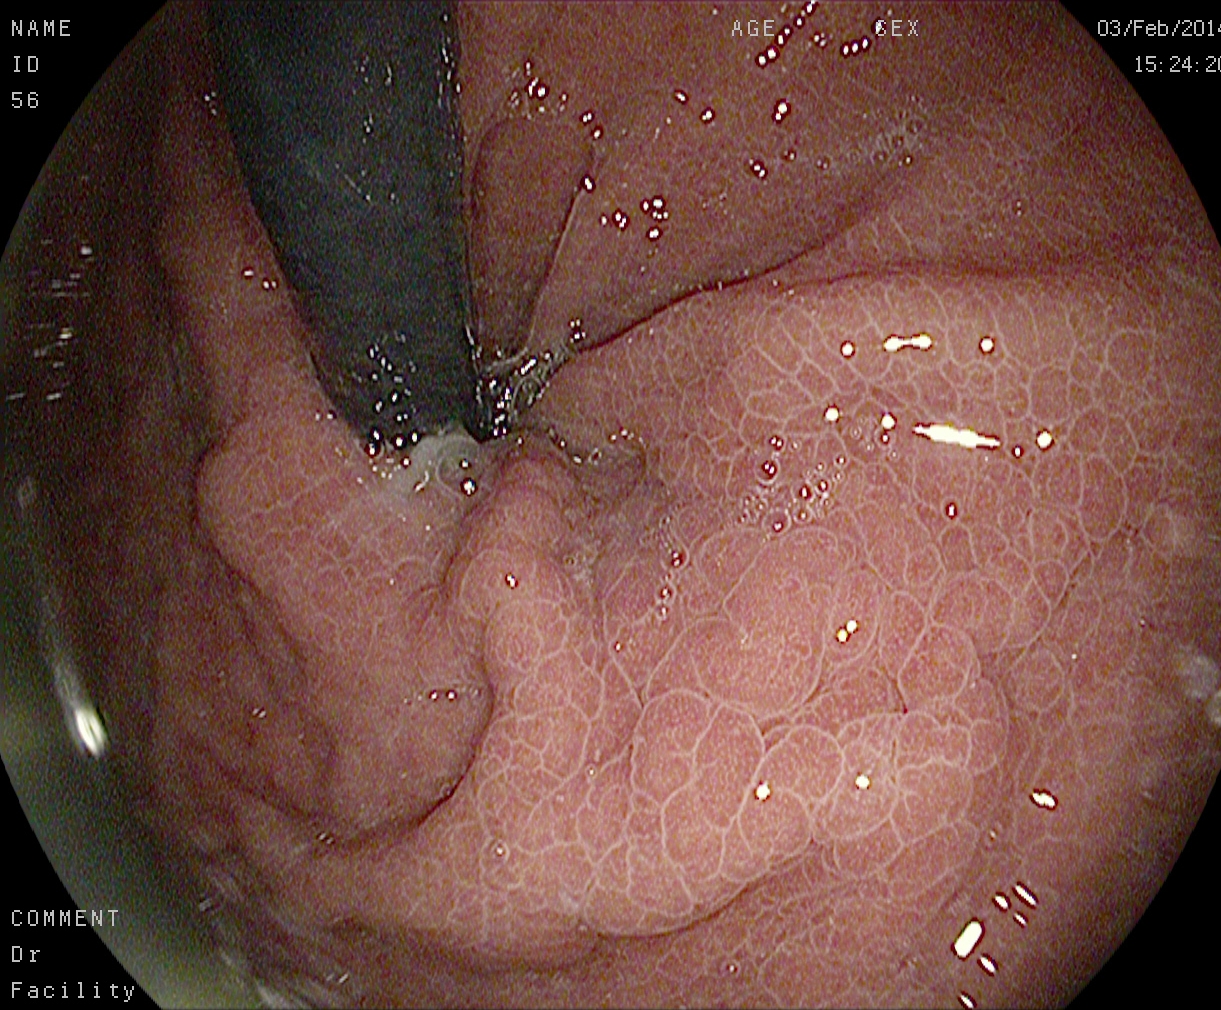Stomach in retroflexion.